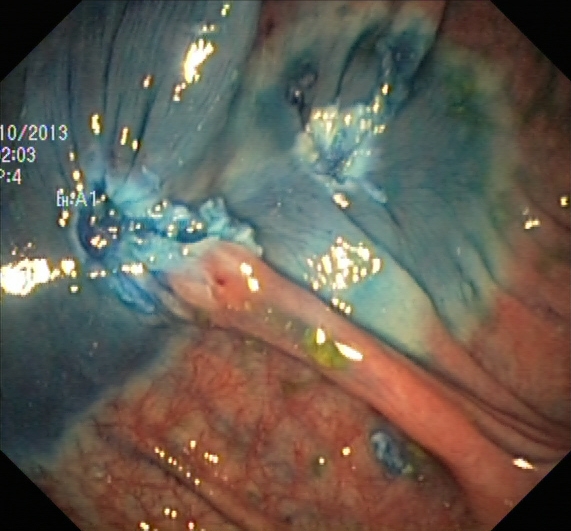Colonoscopy. Tract: lower GI tract. Finding: dyed resection margins (post-polypectomy).